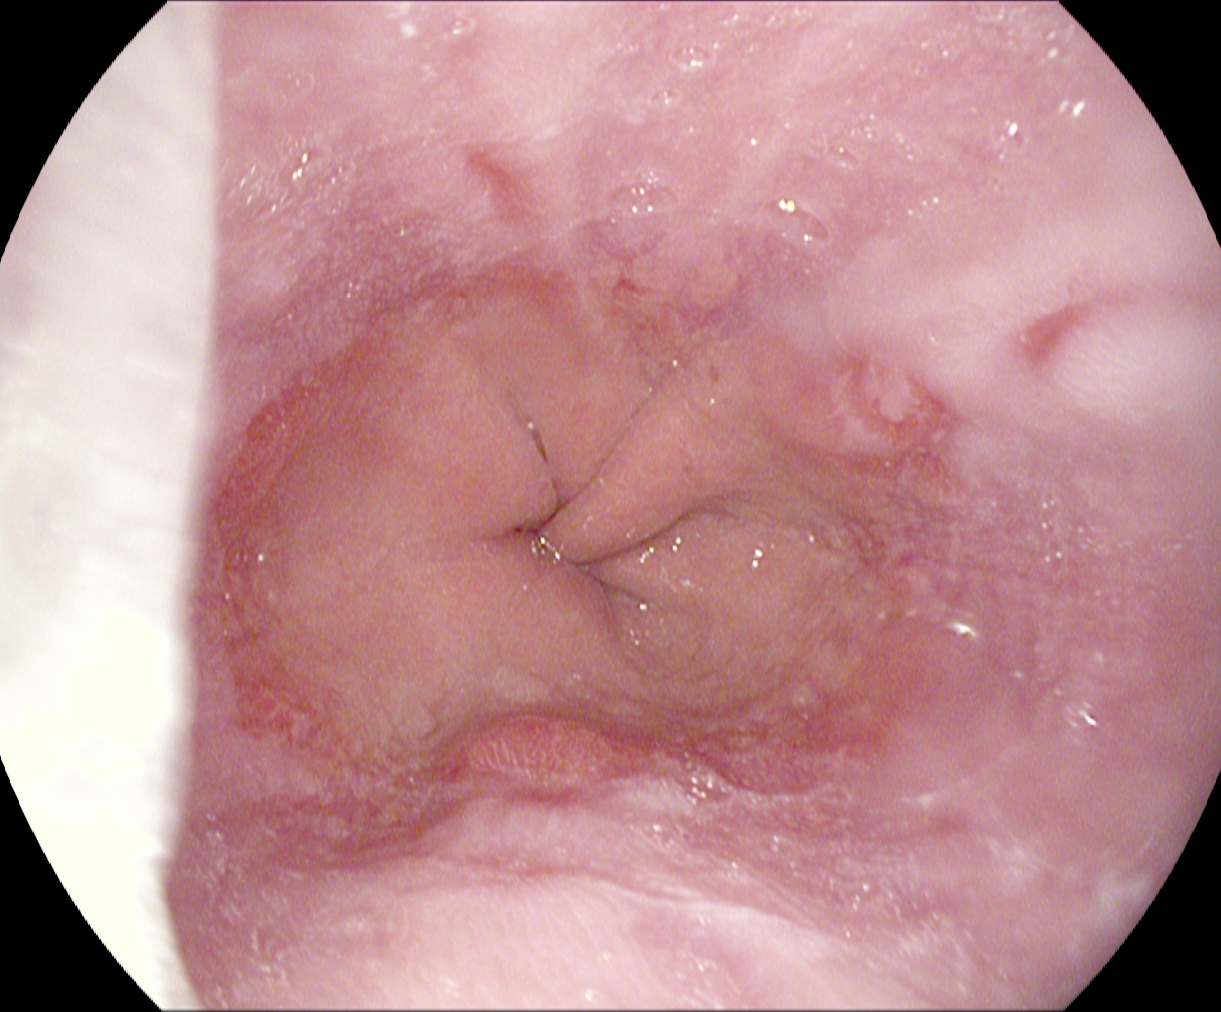{"modality": "upper-GI endoscopy", "finding": "reflux esophagitis, Los Angeles grade B\u2013D"}